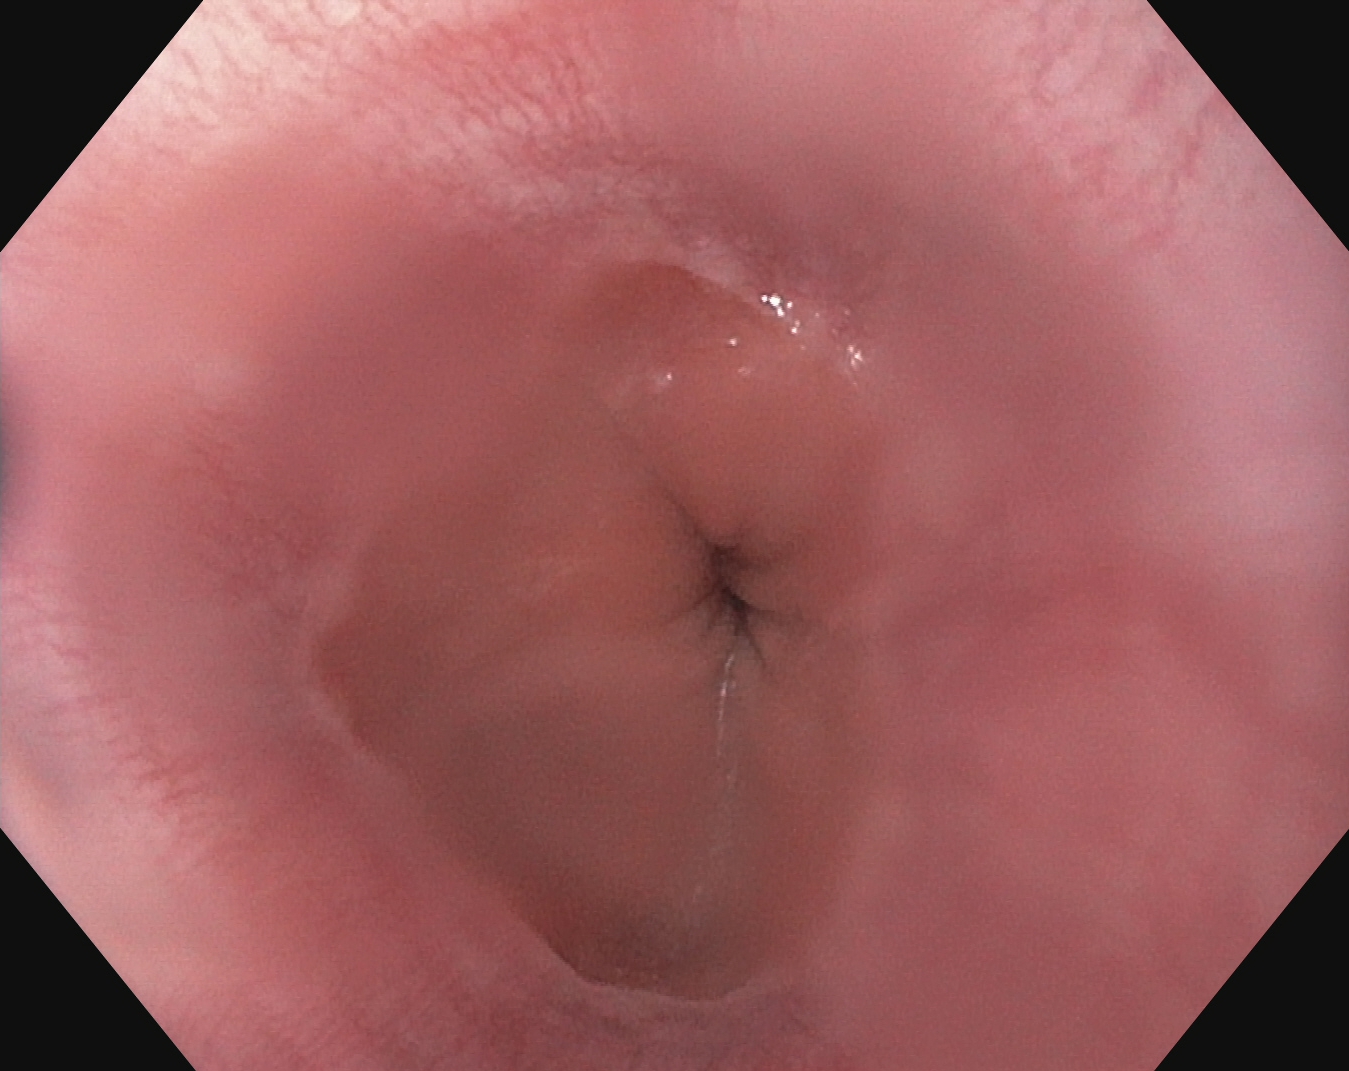PROCEDURE: Esophagogastroduodenoscopy.
FINDINGS: Z-line (gastroesophageal junction).